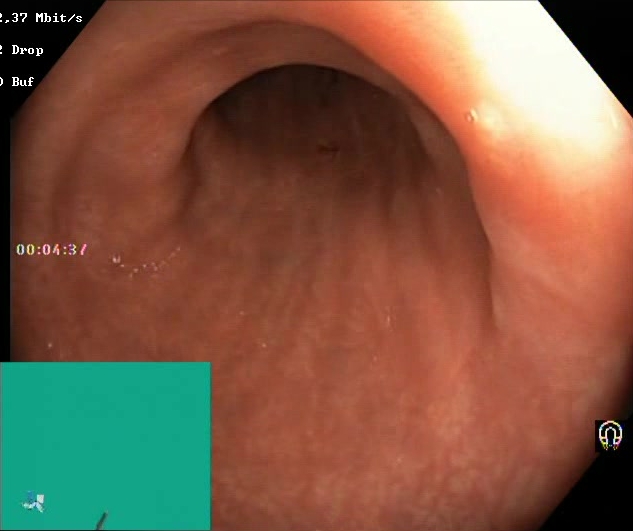Endoscopy image showing Boston Bowel Preparation Scale score 2–3 (adequate preparation).